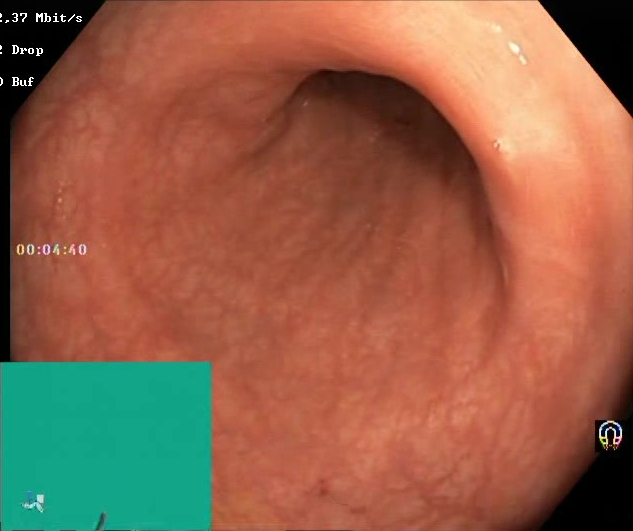PROCEDURE: Colonoscopy.
CATEGORY: Mucosal-view quality.
FINDINGS: Boston Bowel Preparation Scale score 2–3 (adequate preparation).